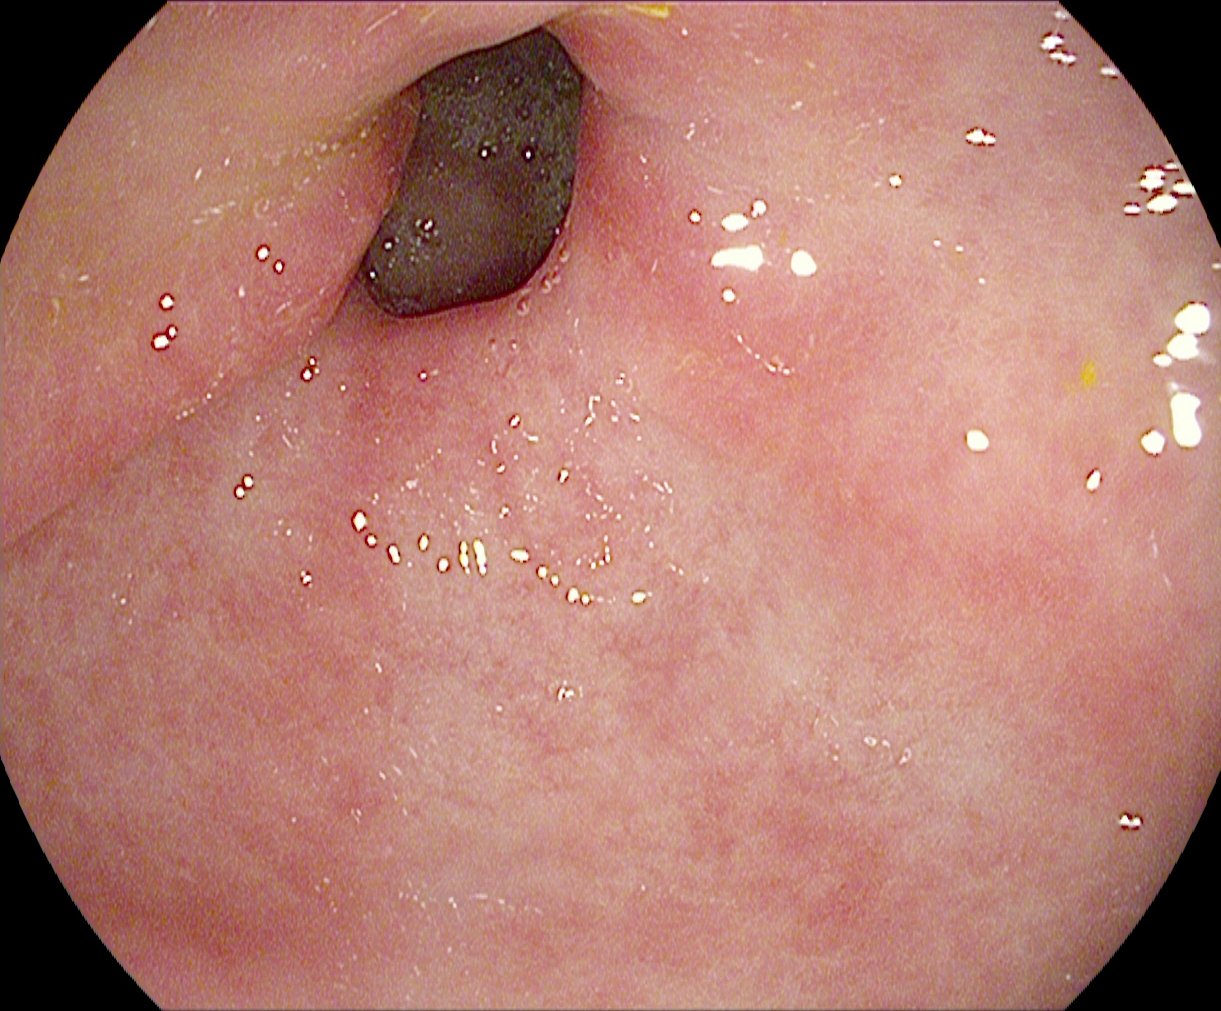Gastroscopy — pylorus.